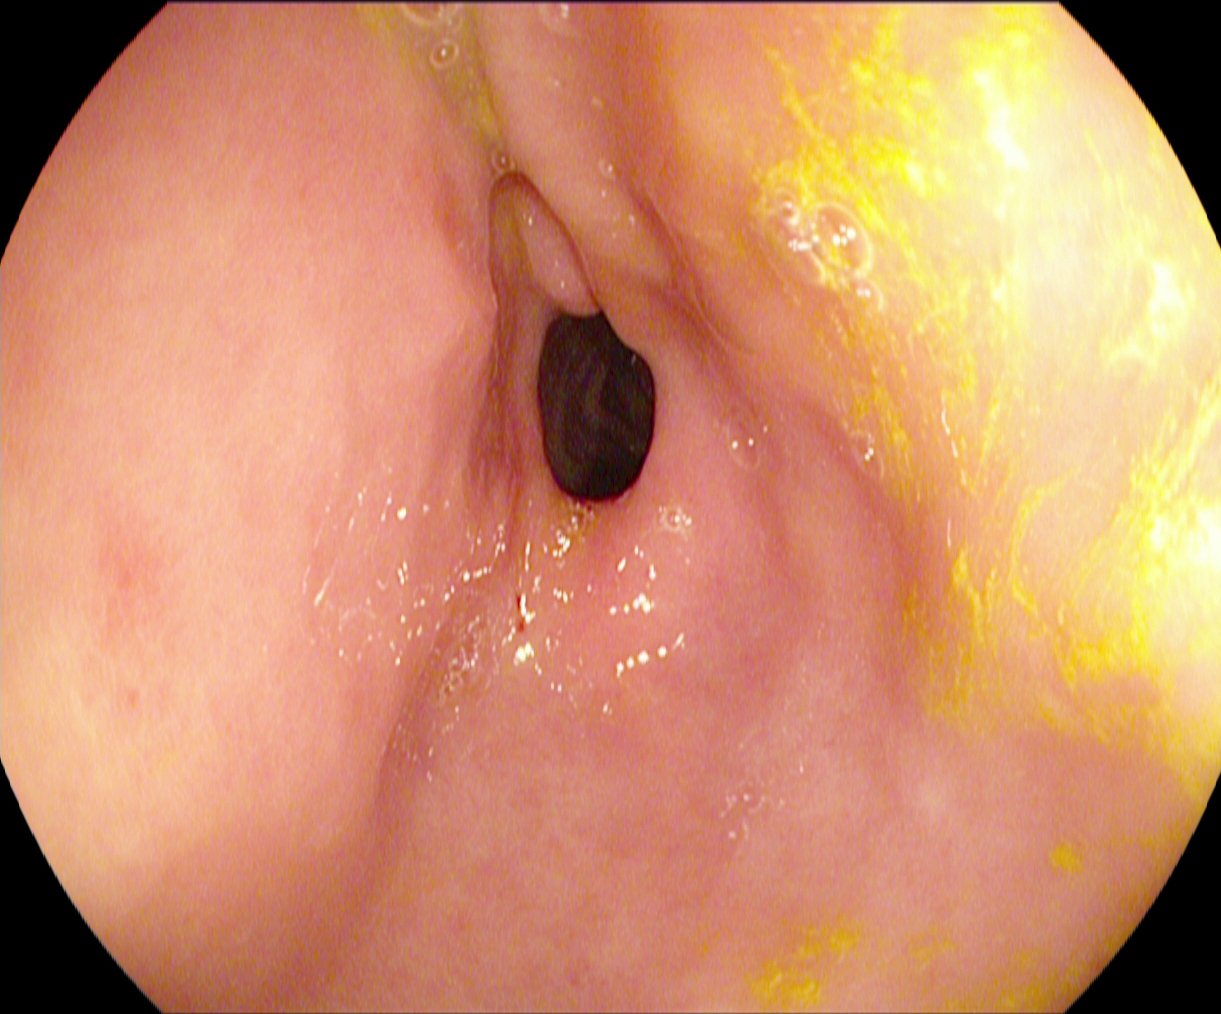Gastrointestinal endoscopy image of the upper GI tract showing pylorus.